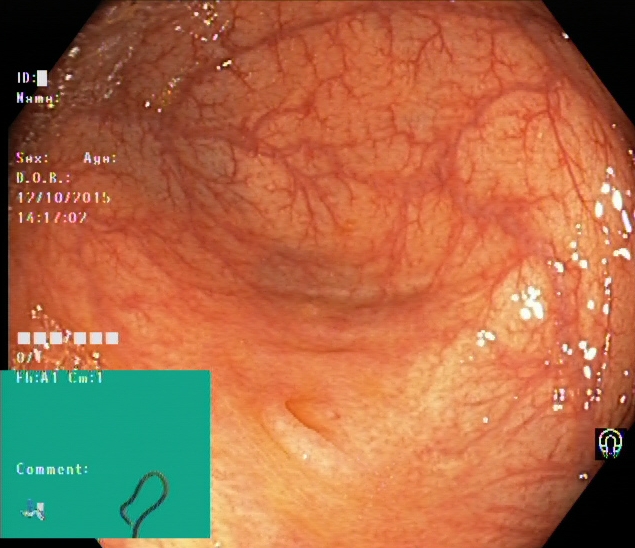This endoscopy frame of the lower GI tract shows cecum.